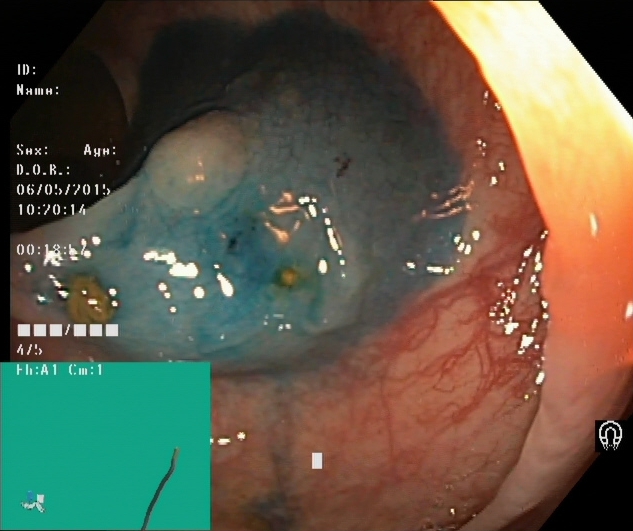Lower gastrointestinal endoscopy — dyed and lifted polyp (pre-resection).